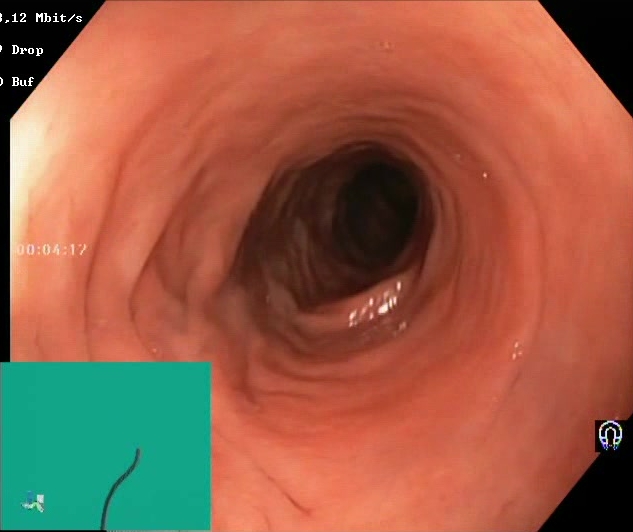This endoscopic image of the lower GI tract shows Boston Bowel Preparation Scale score 2–3 (adequate preparation).